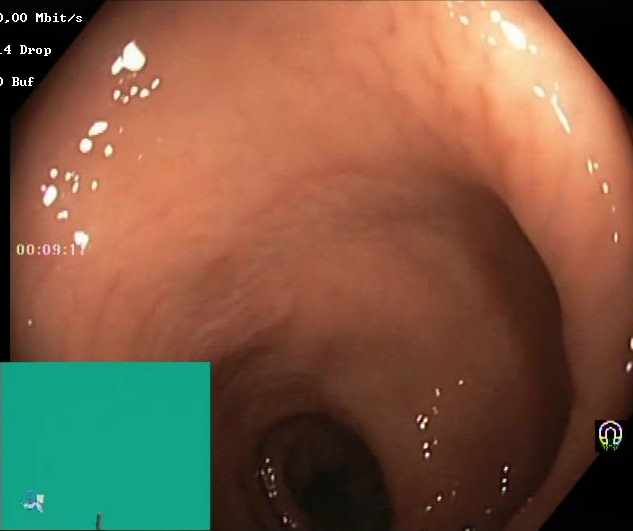This endoscopy frame shows Boston Bowel Preparation Scale score 2–3 (adequate preparation).